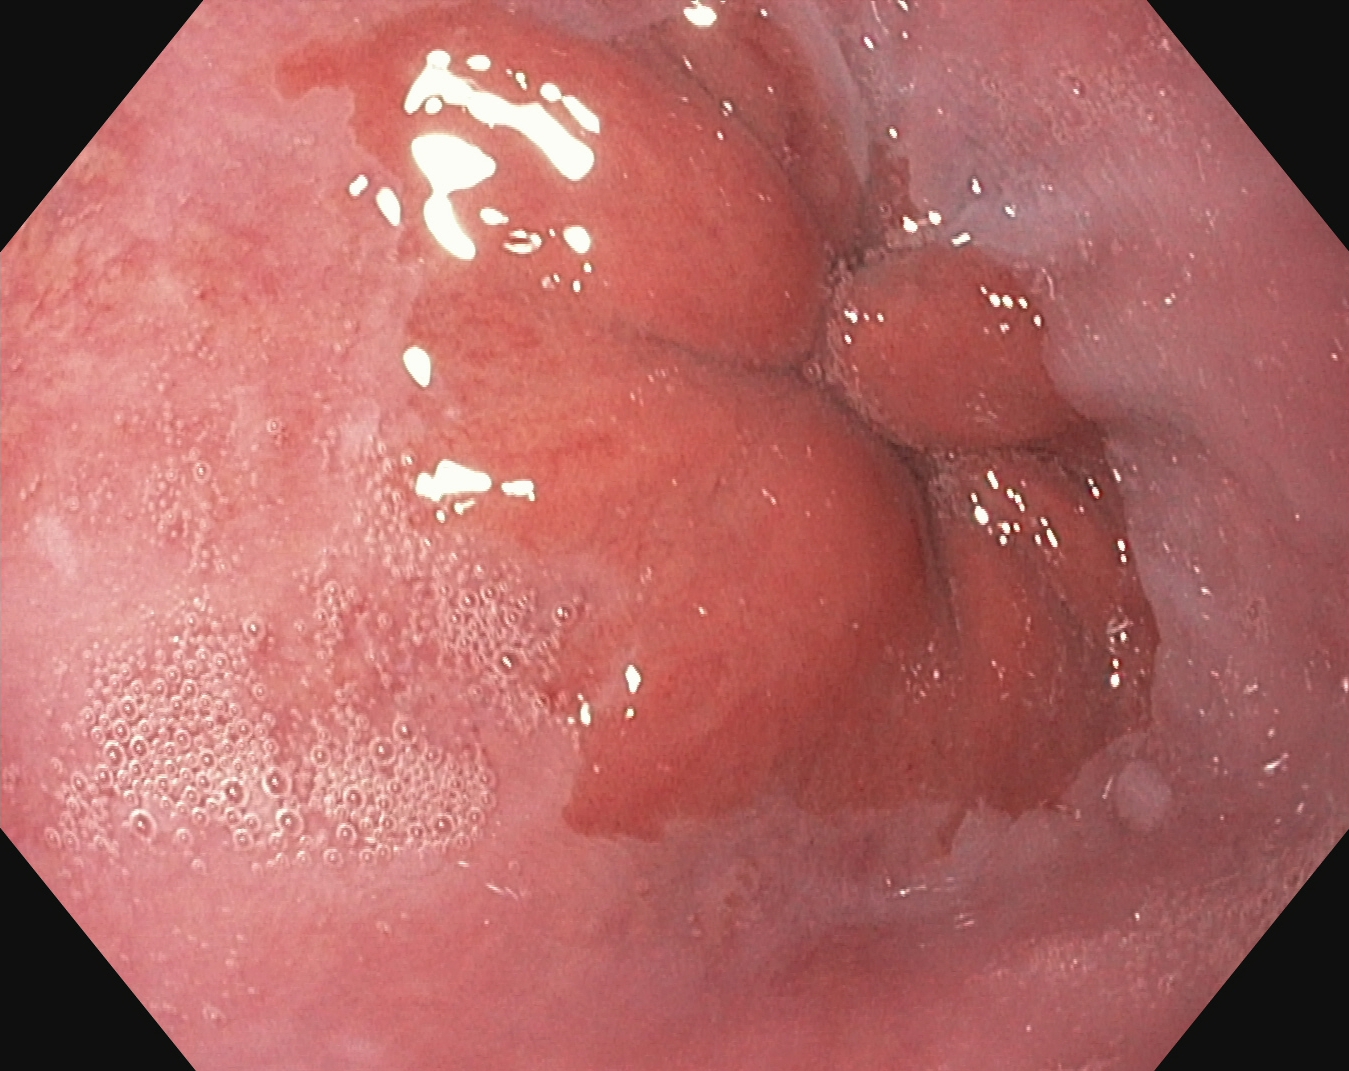This endoscopic image shows Z-line (gastroesophageal junction).